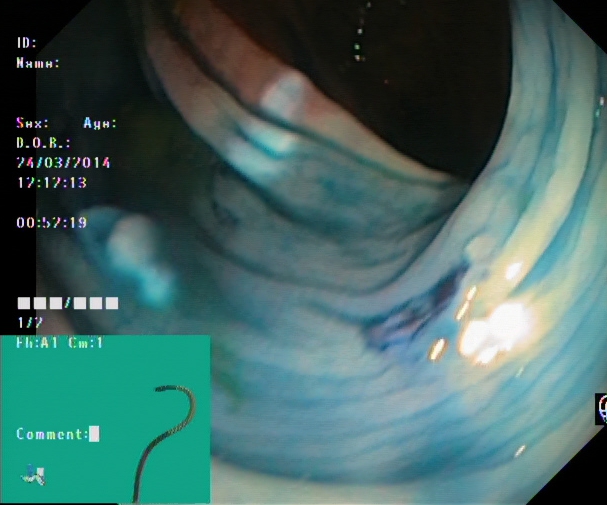PROCEDURE: Lower gastrointestinal endoscopy.
FINDINGS: Dyed resection margins (post-polypectomy).